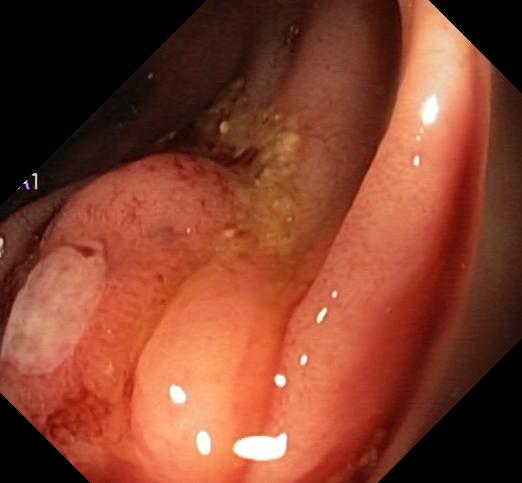Lower gastrointestinal endoscopy. Tract: lower GI tract. Finding: colorectal polyp(s).